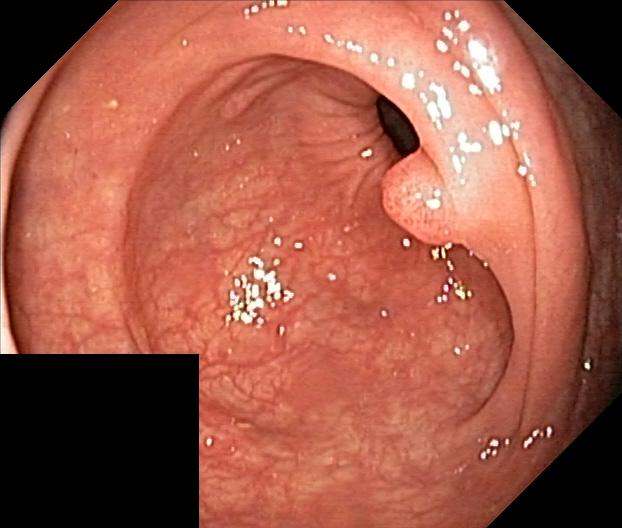Colorectal polyp(s).